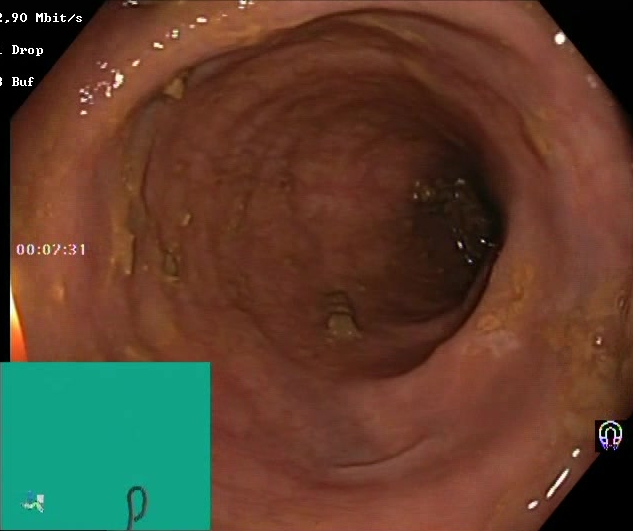BBPS score 0–1 (inadequate preparation).